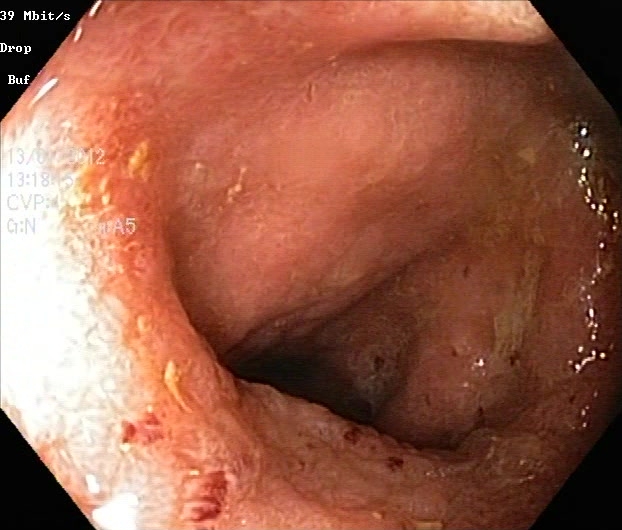ulcerative colitis, Mayo endoscopic subscore 2.